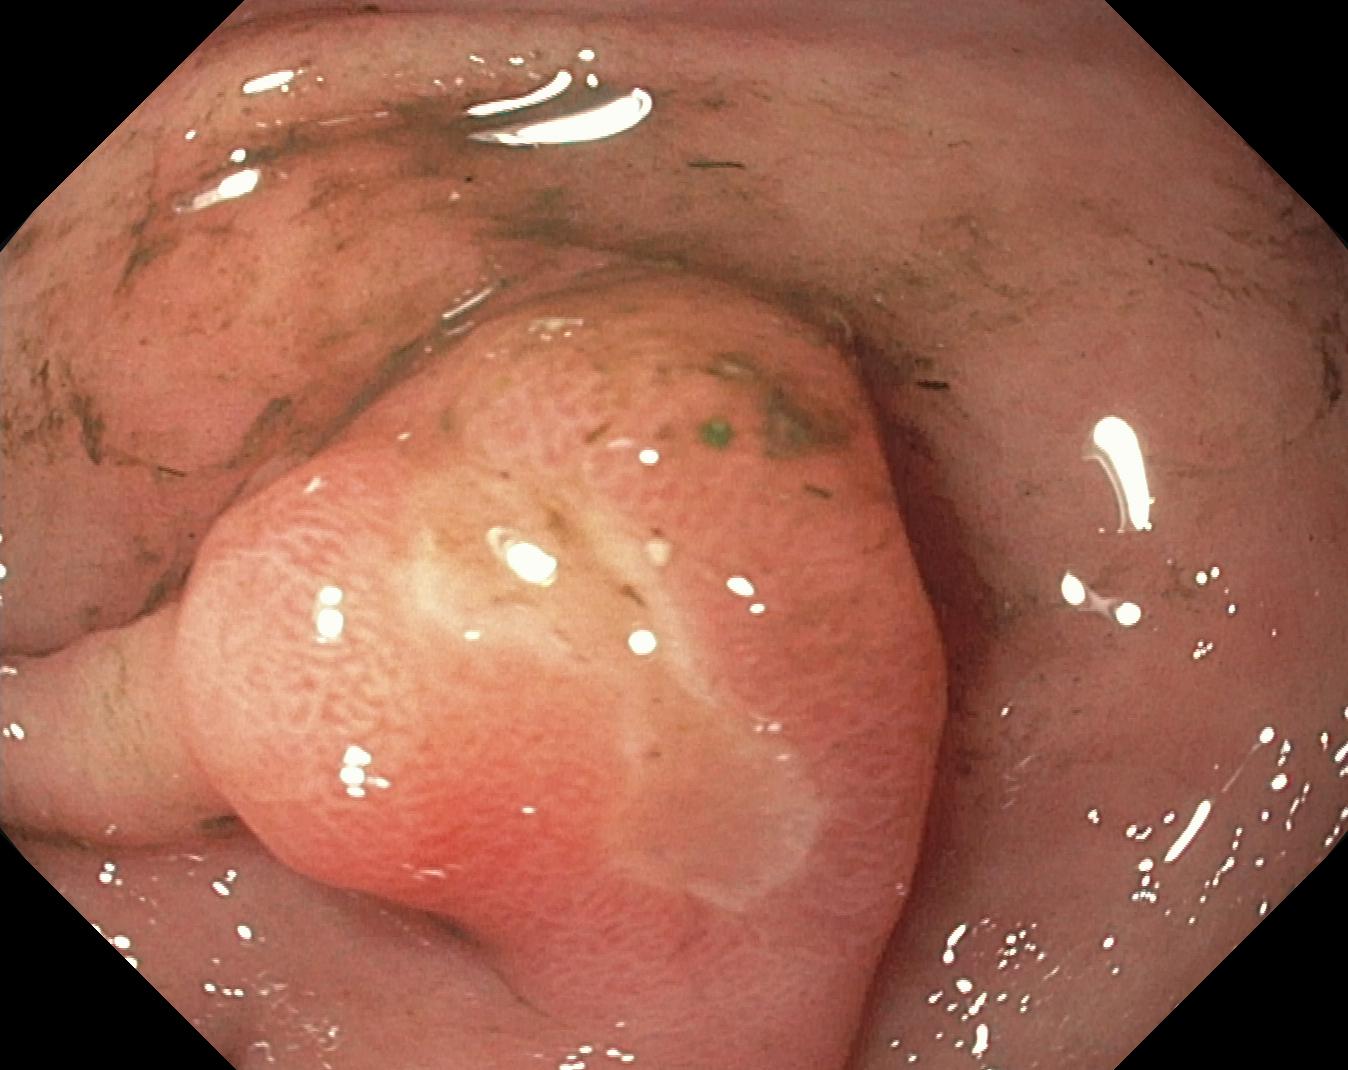modality: colonoscopy
tract: lower GI tract
category: pathological finding
finding: colorectal polyp(s)